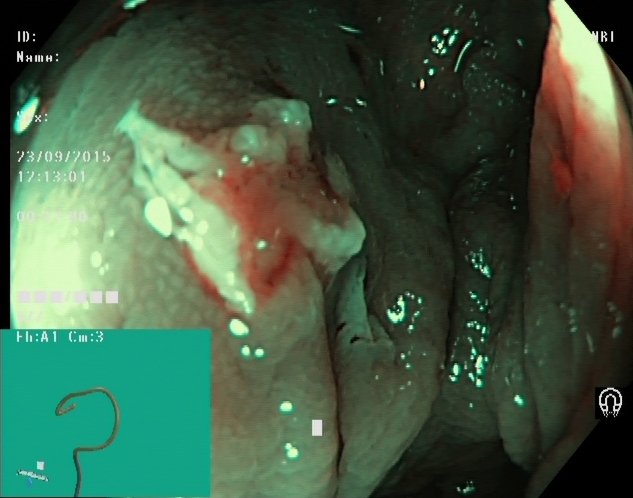Lower gastrointestinal endoscopy — dyed and lifted polyp (pre-resection).